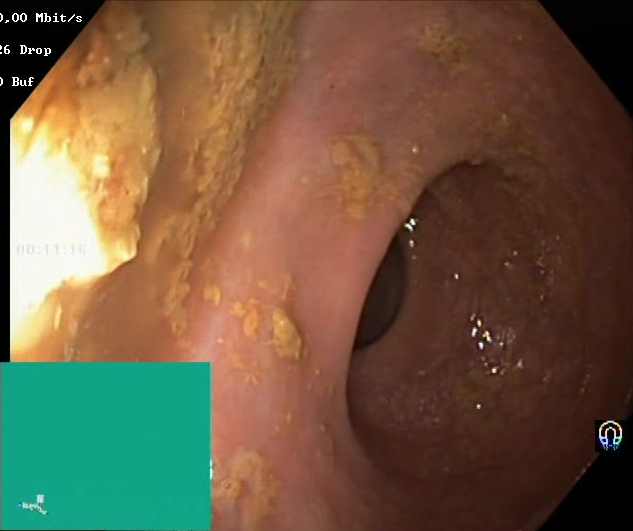This endoscopy frame of the lower GI tract shows Boston Bowel Preparation Scale score 0–1 (inadequate preparation).